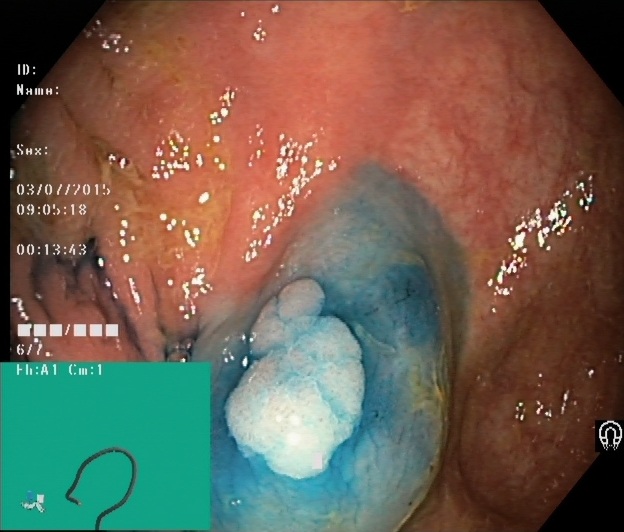Dyed and lifted polyp (pre-resection).